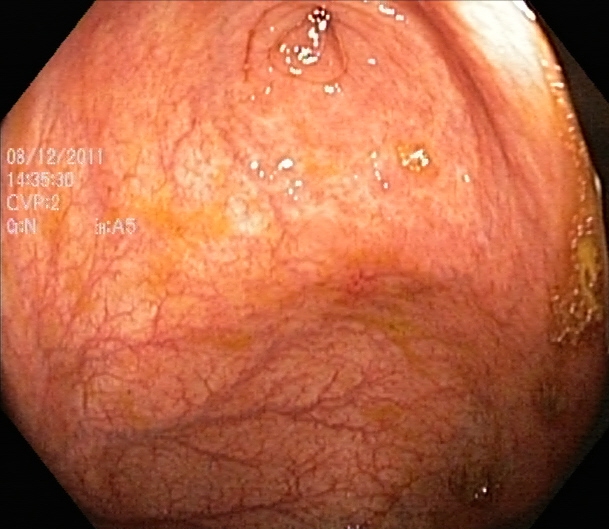Lower-GI endoscopy. Tract: lower GI tract. Finding: cecum.